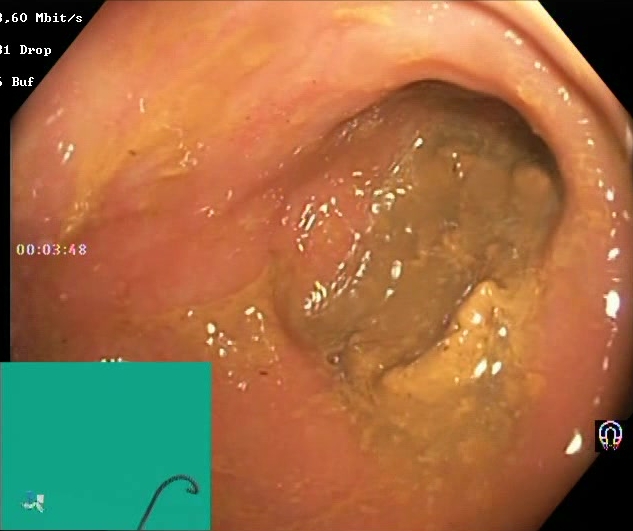GI endoscopy image of the lower GI tract showing Boston Bowel Preparation Scale score 0–1 (inadequate preparation).